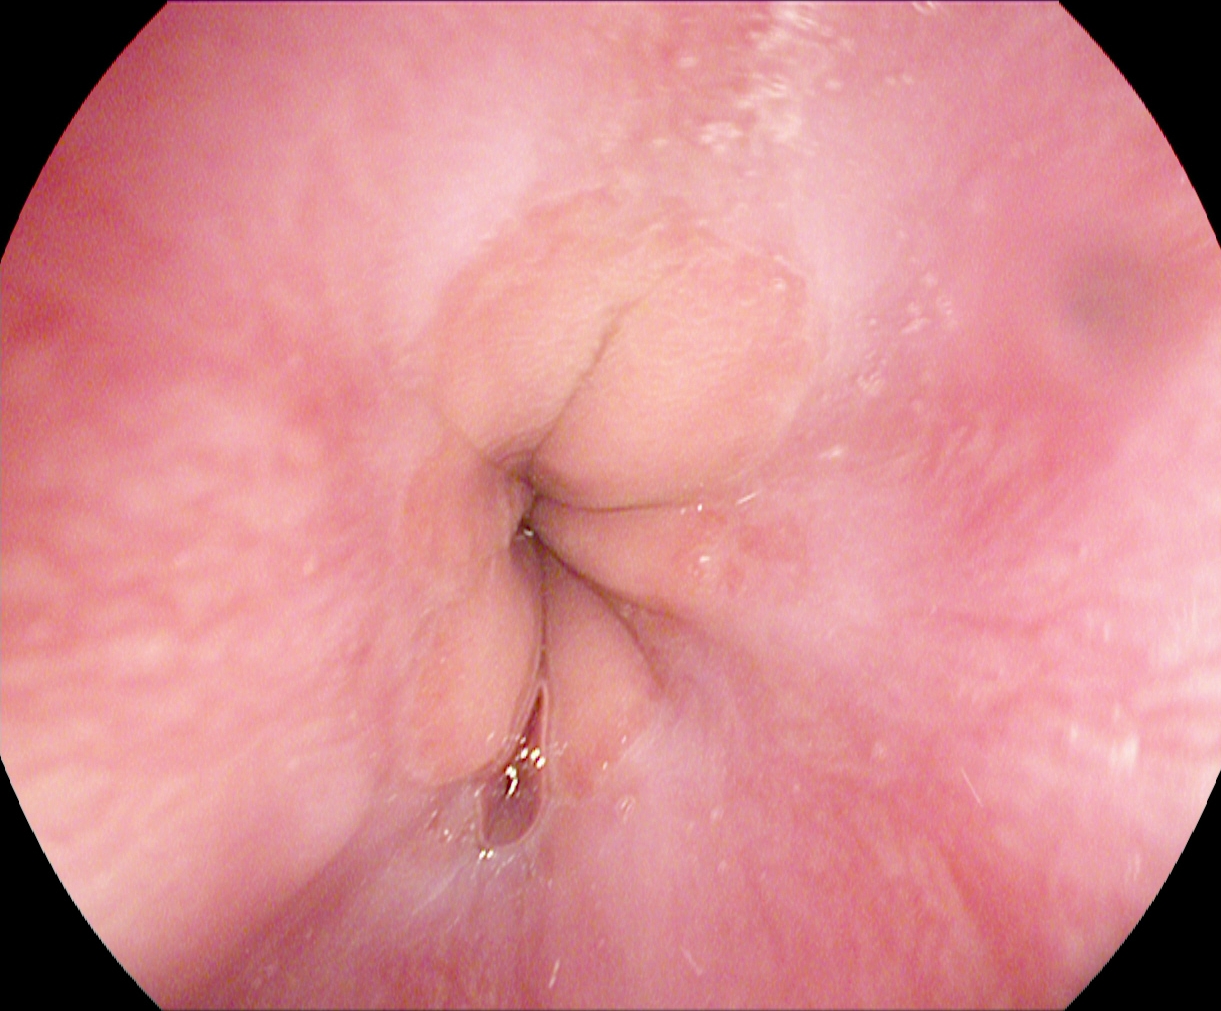{"modality": "esophagogastroduodenoscopy", "tract": "upper GI tract", "finding": "Z-line (gastroesophageal junction)"}